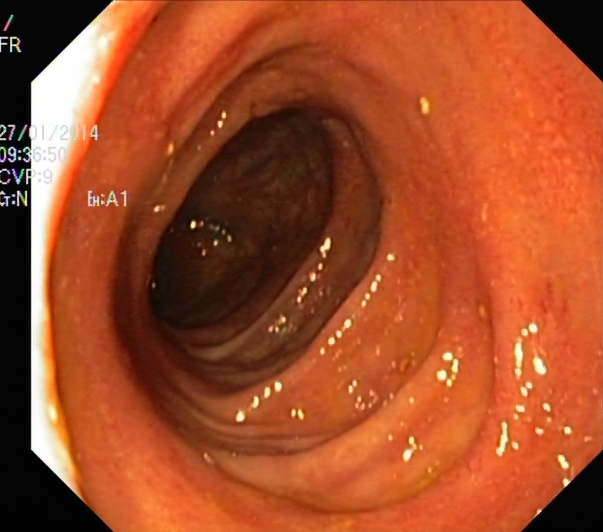Lower-GI endoscopy. Tract: lower GI tract. Finding: UC, Mayo endoscopic subscore 1.